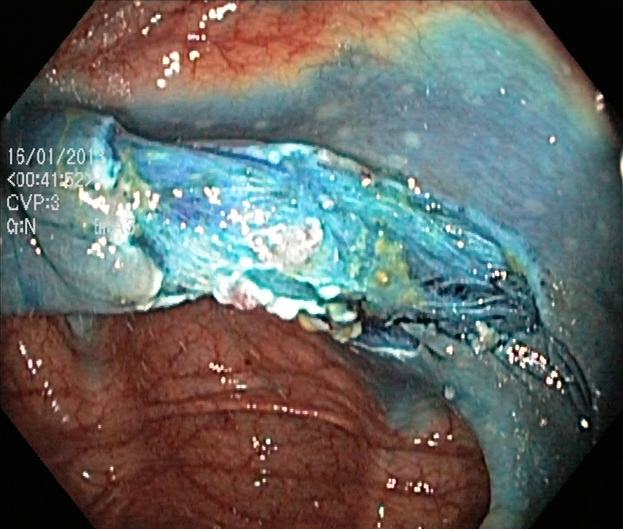Lower-GI endoscopy. Tract: lower GI tract. Therapeutic intervention. Finding: dyed resection margins (post-polypectomy).